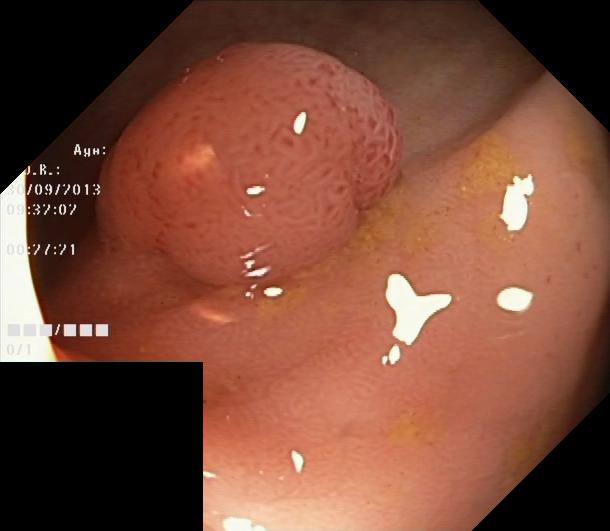Lower gastrointestinal endoscopy. Tract: lower GI tract. Finding: colorectal polyp(s).